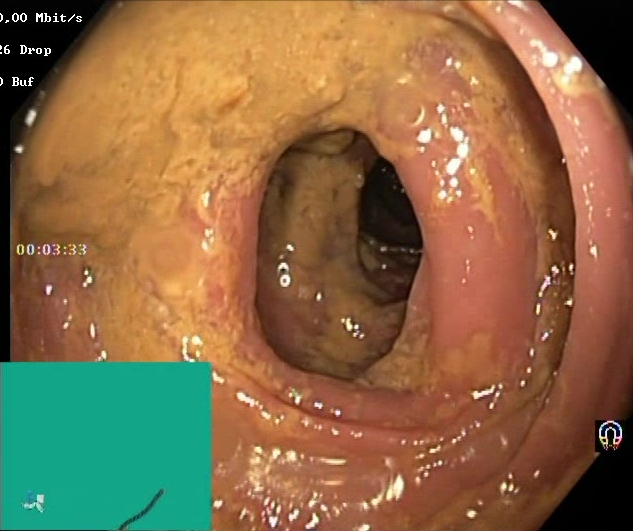This endoscopic image shows BBPS score 0–1 (inadequate preparation).